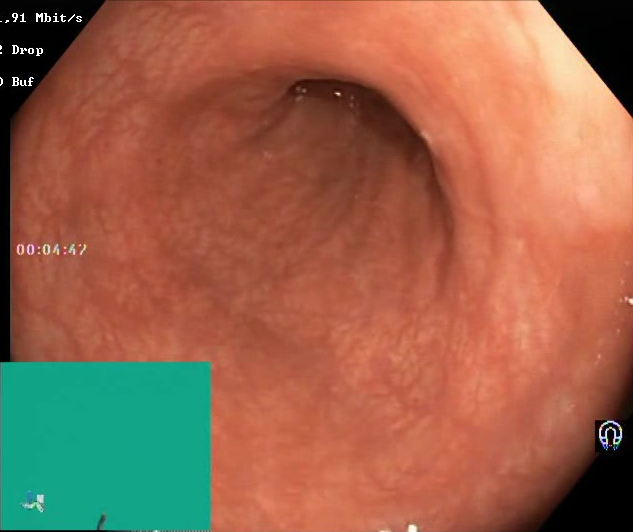Colonoscopy image of the lower GI tract showing BBPS score 2–3 (adequate preparation).